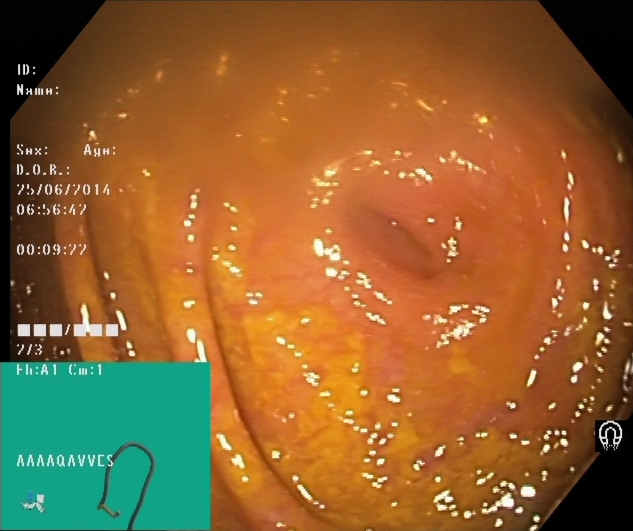This endoscopic image shows cecum.